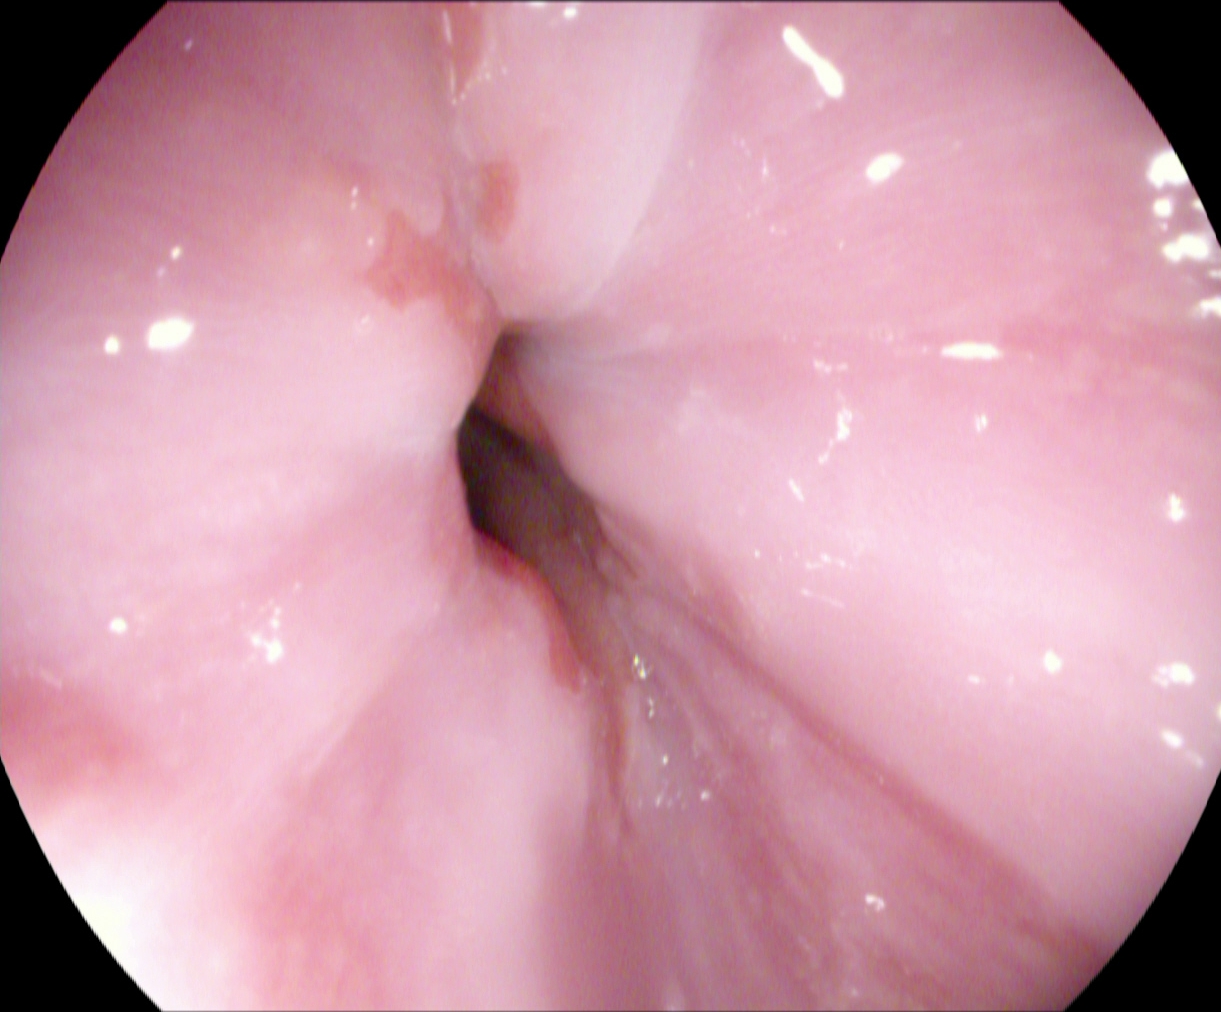PROCEDURE: Gastroscopy.
FINDINGS: Z-line (gastroesophageal junction).